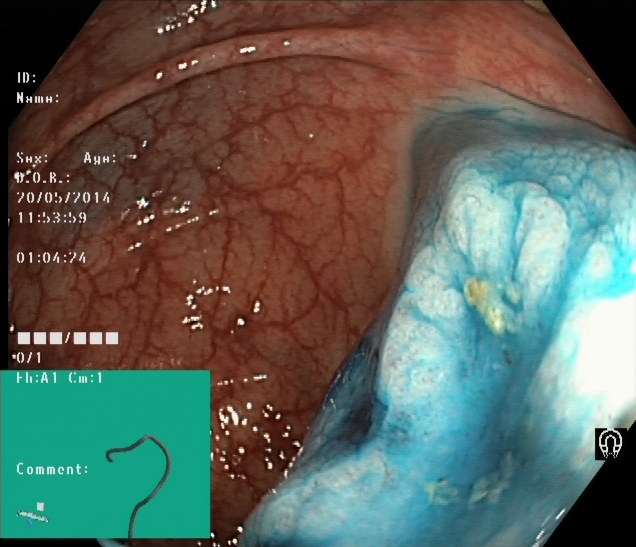modality: colonoscopy
finding: dyed and lifted polyp (pre-resection)